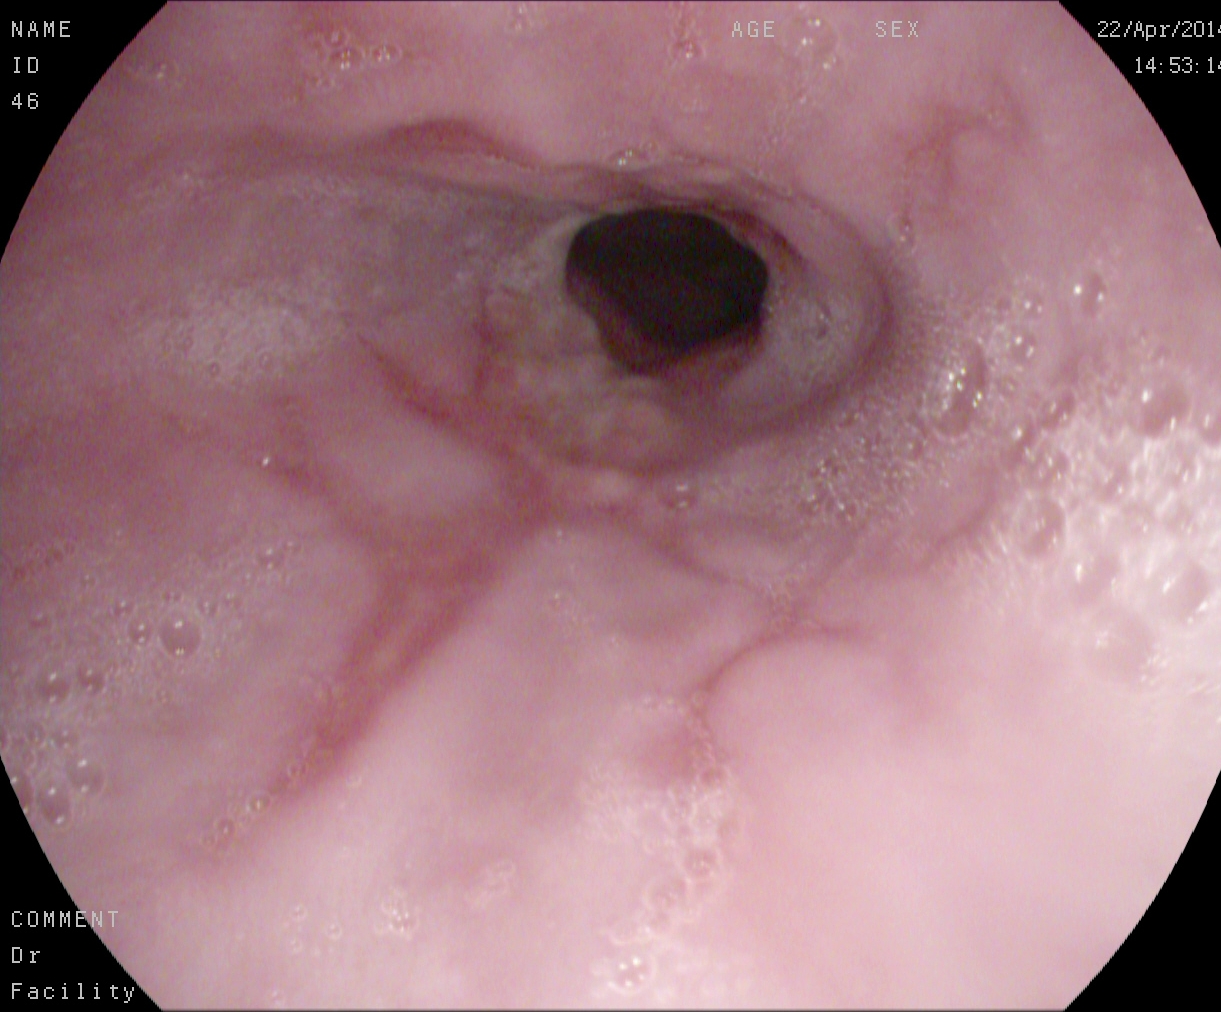This endoscopic image of the upper GI tract shows reflux esophagitis, Los Angeles grade B–D.